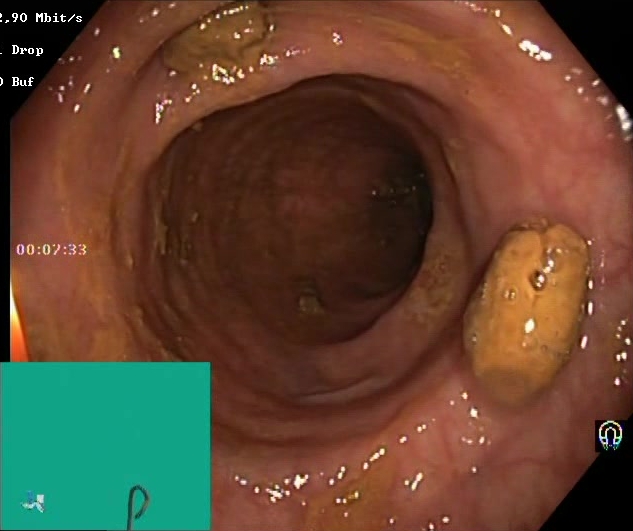Colonoscopy — impacted stool.